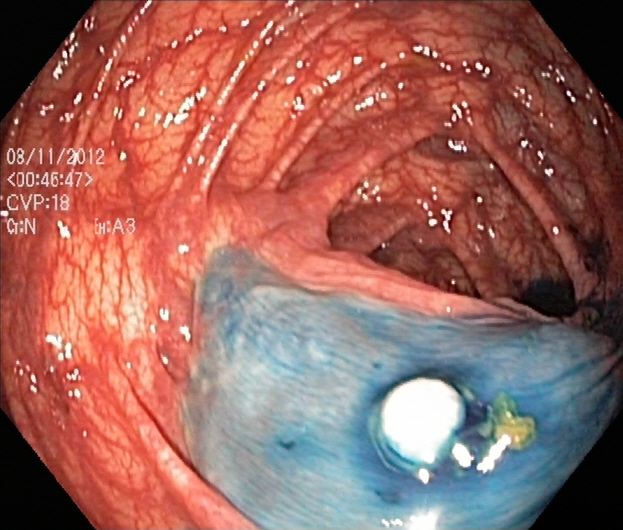This endoscopy frame shows dyed and lifted polyp (pre-resection).